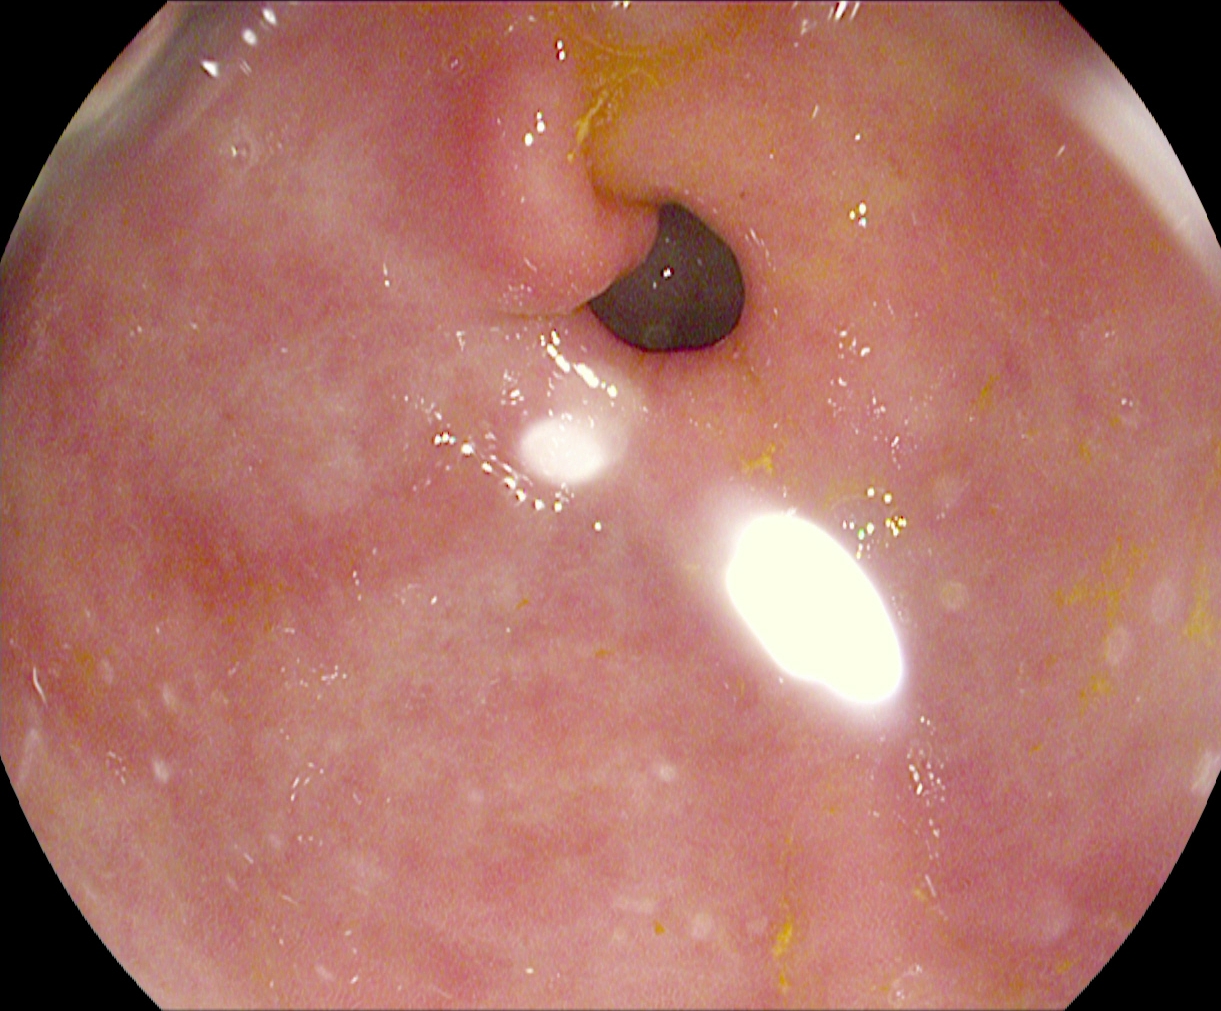Upper-GI endoscopy. Tract: upper GI tract. Anatomical landmark. Finding: pylorus.